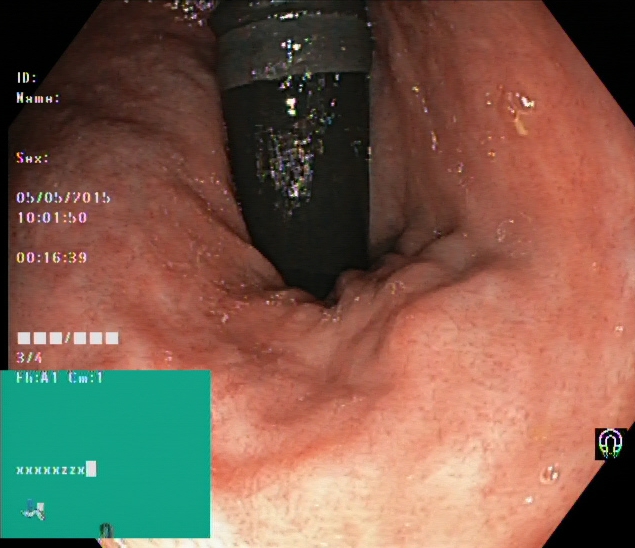Rectum in retroflexion.